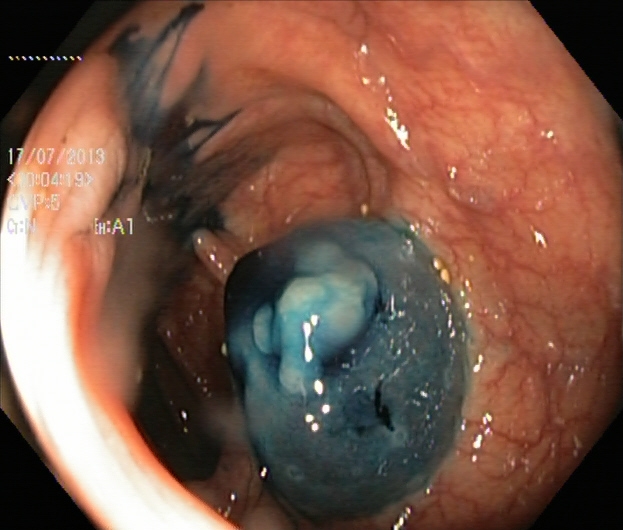This endoscopic image of the lower GI tract shows dyed and lifted polyp (pre-resection).